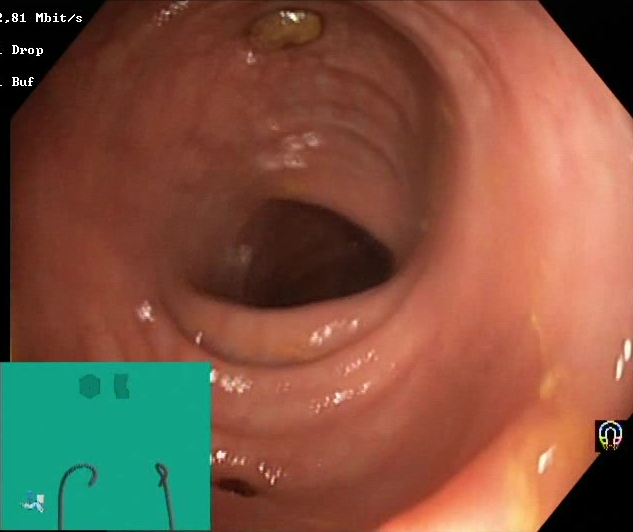PROCEDURE: Colonoscopy.
FINDINGS: Impacted stool.